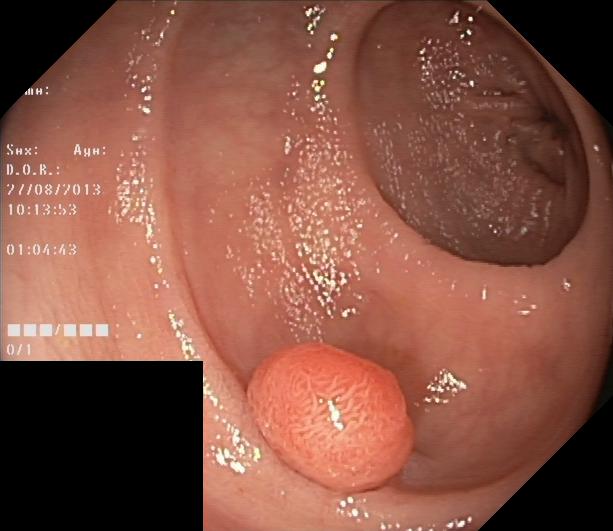{"modality": "colonoscopy", "tract": "lower GI tract", "finding": "colorectal polyp(s)"}